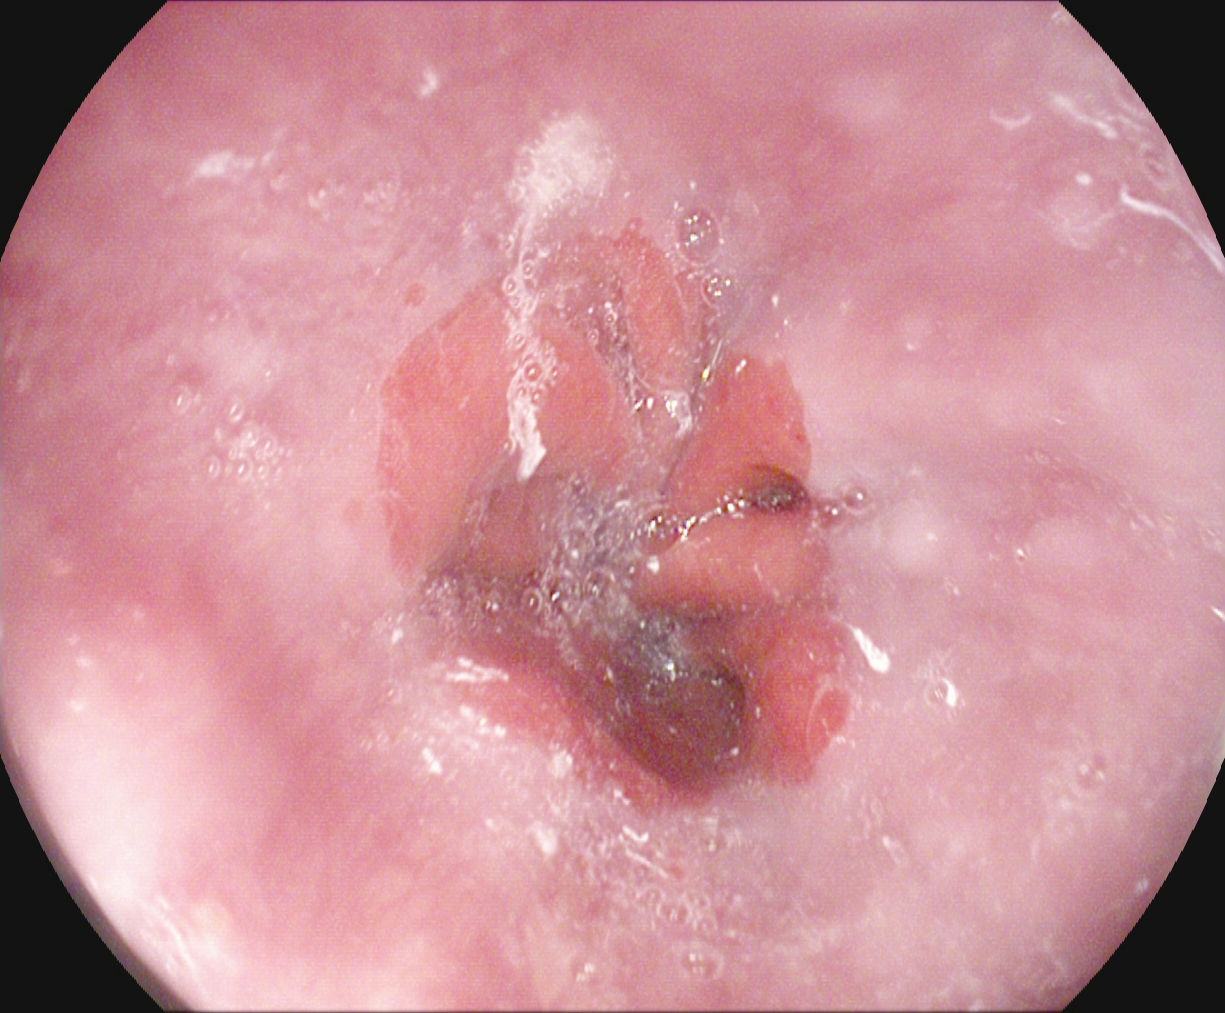Z-line (gastroesophageal junction).